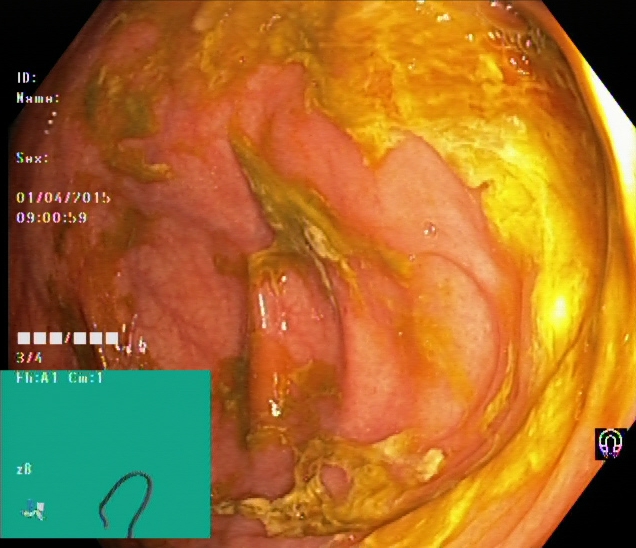Gastrointestinal endoscopy image showing cecum.